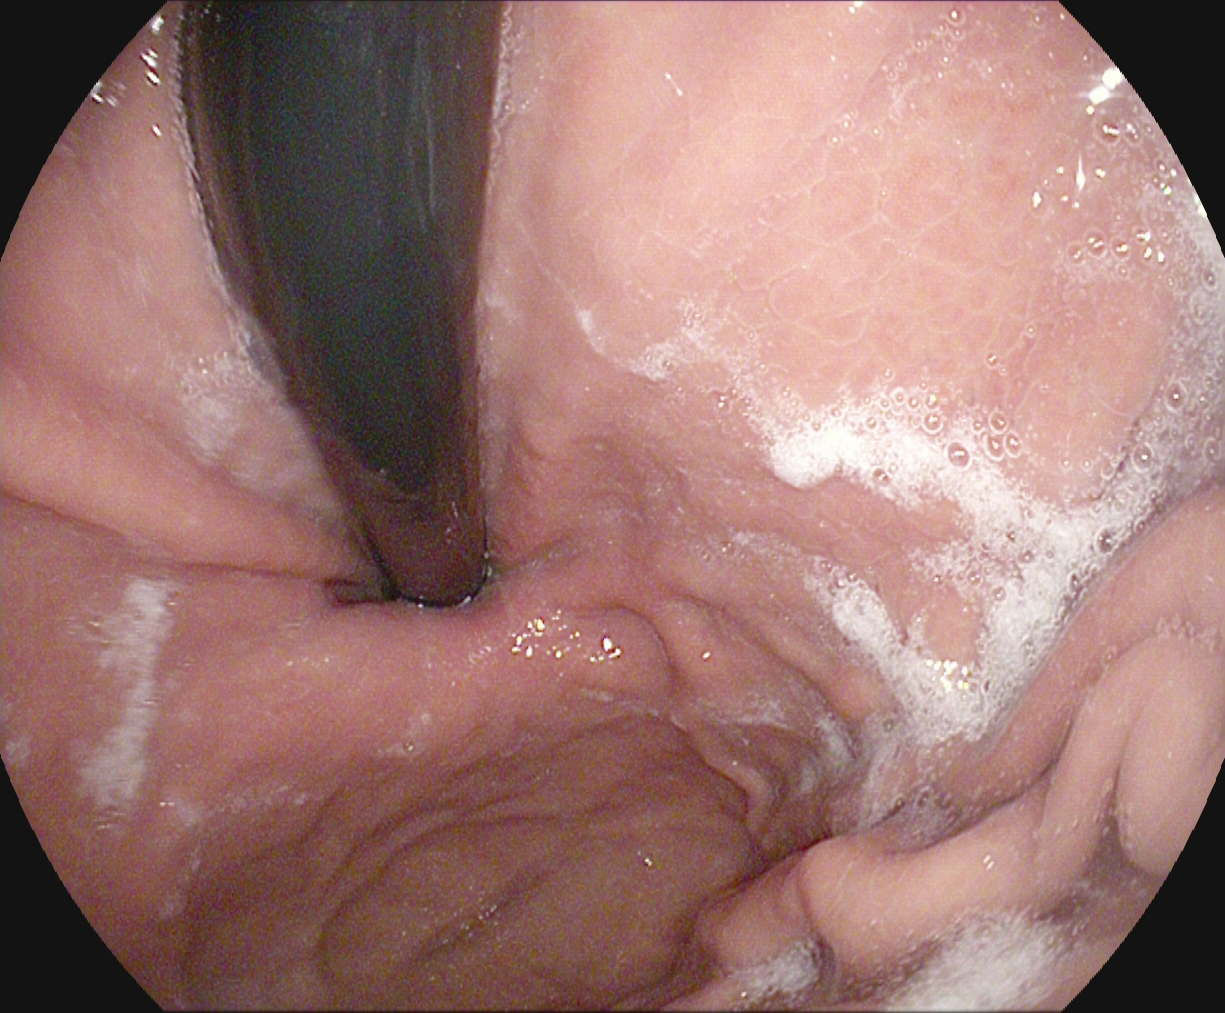PROCEDURE: Esophagogastroduodenoscopy.
CATEGORY: Anatomical landmark.
FINDINGS: Stomach in retroflexion.